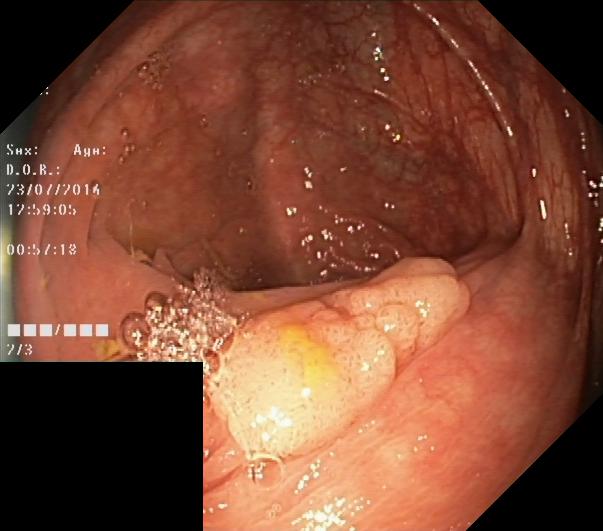Lower-GI endoscopy. Tract: lower GI tract. Finding: colorectal polyp(s).